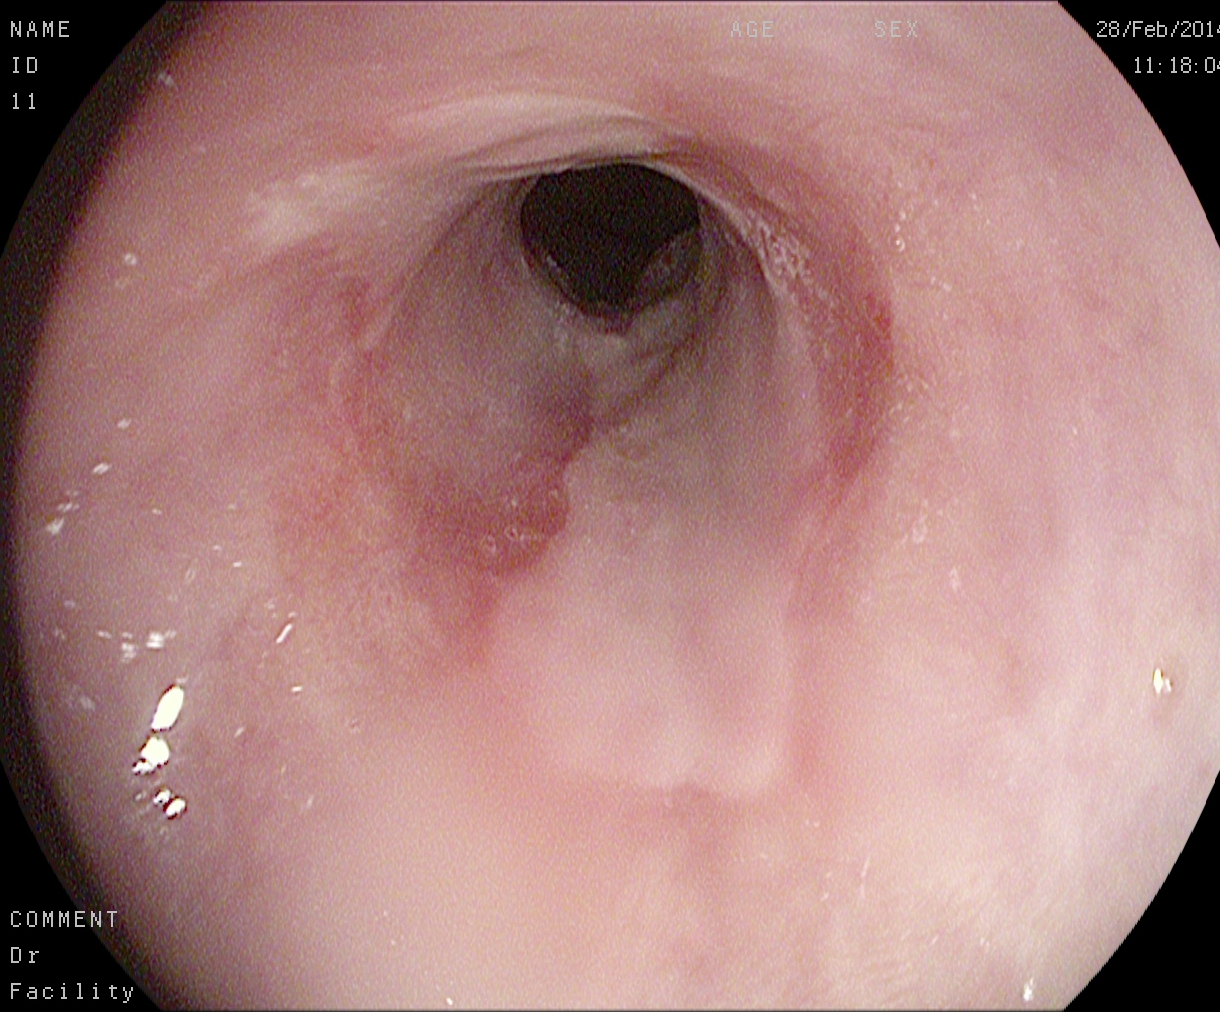Reflux esophagitis, LA grade B–D.